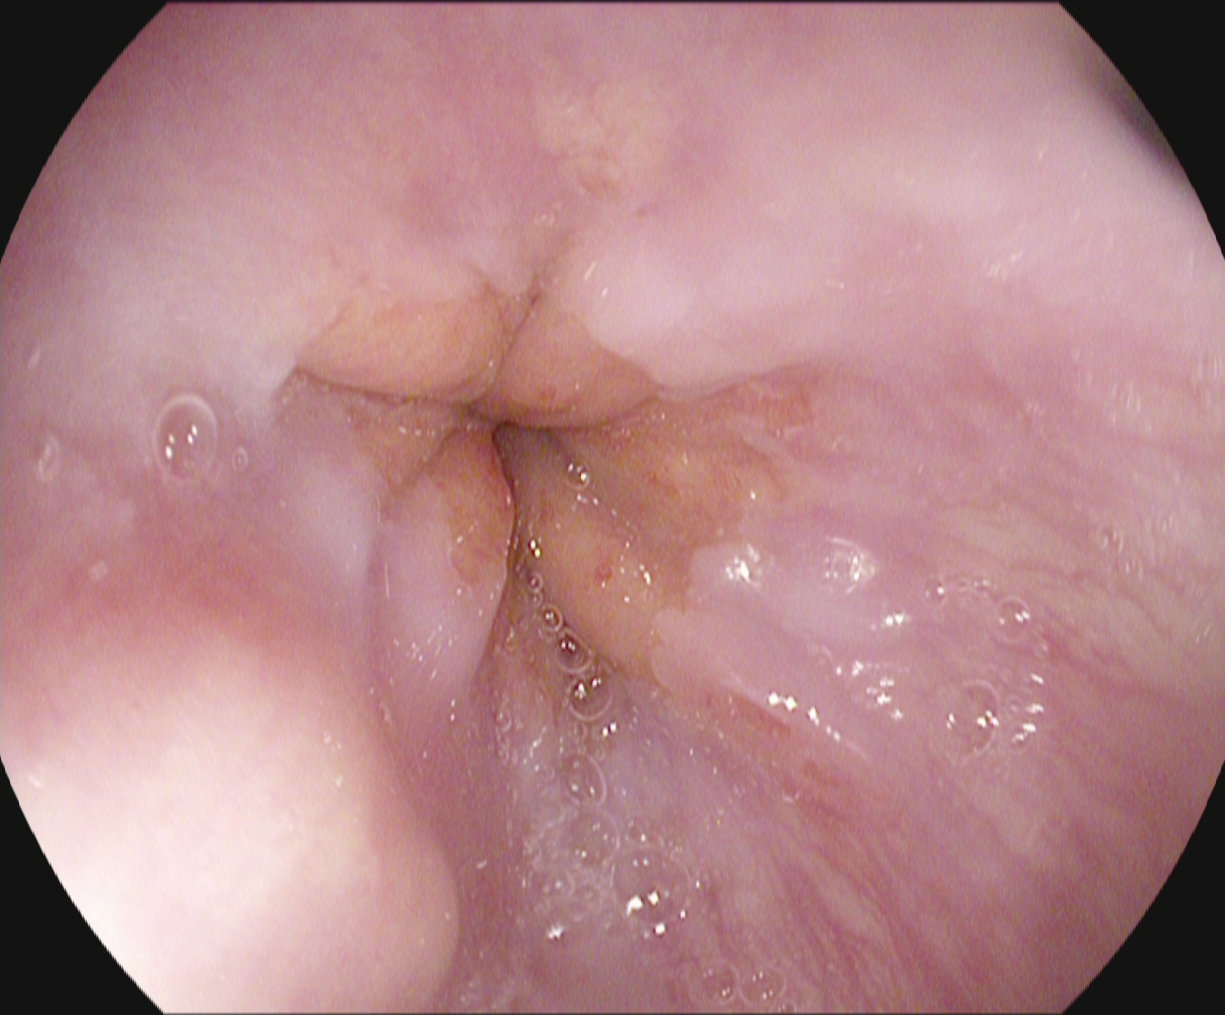Z-line (gastroesophageal junction).